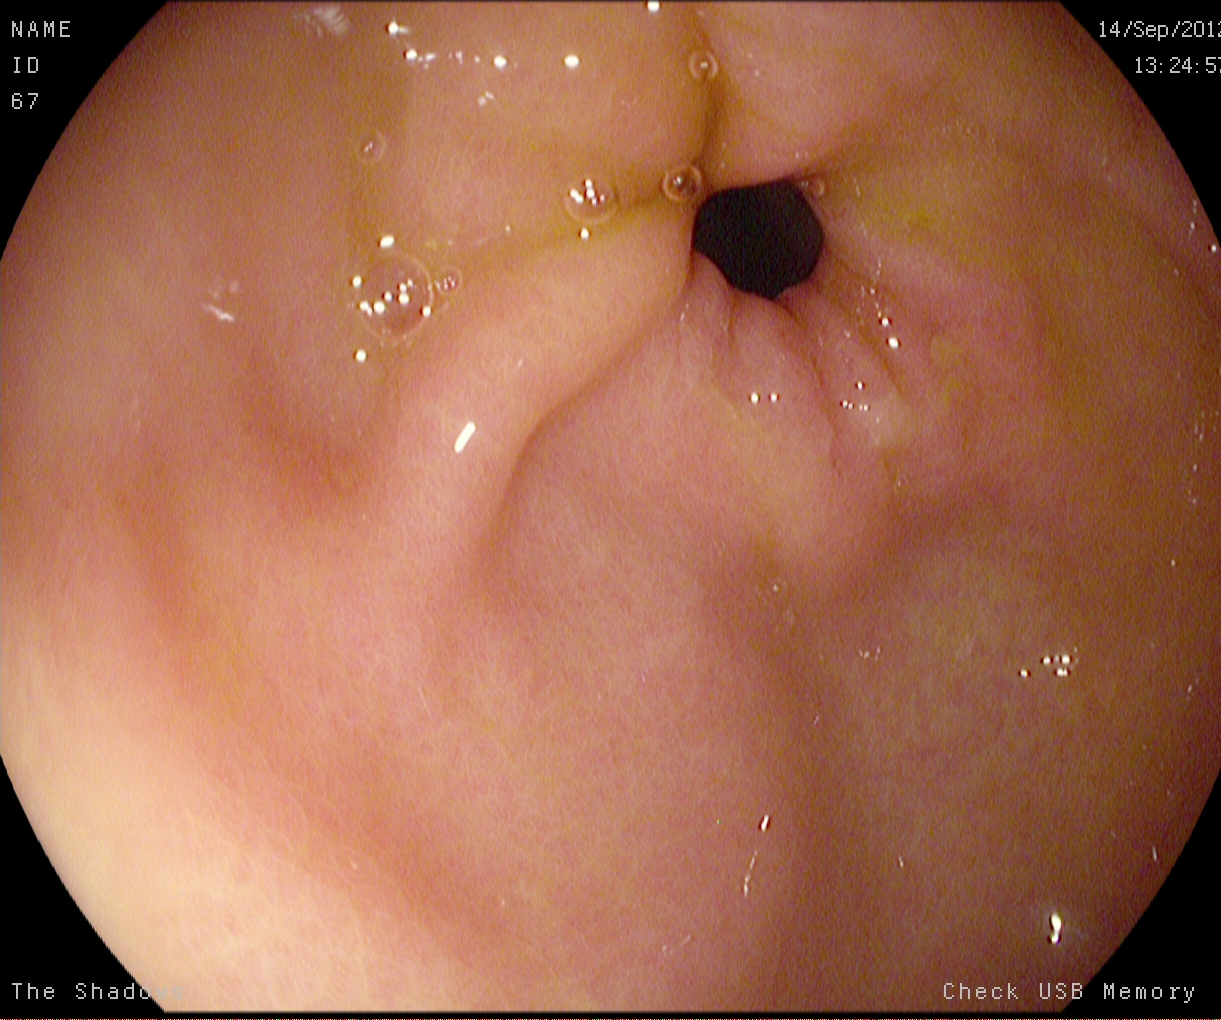{"modality": "upper-GI endoscopy", "category": "anatomical landmark", "finding": "pylorus"}